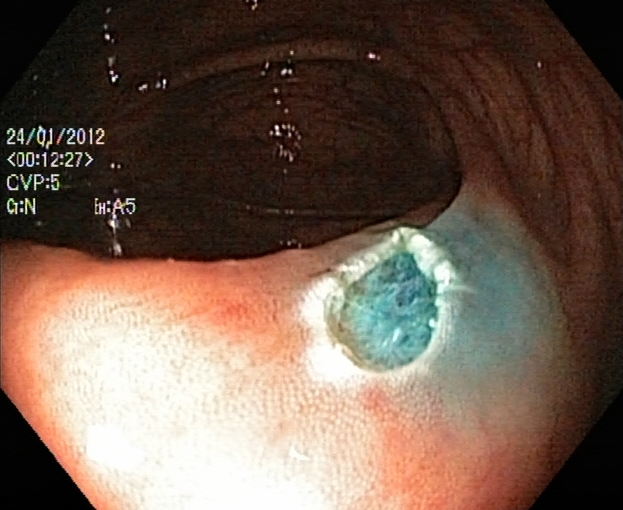{"modality": "colonoscopy", "category": "therapeutic intervention", "finding": "dyed resection margins (post-polypectomy)"}